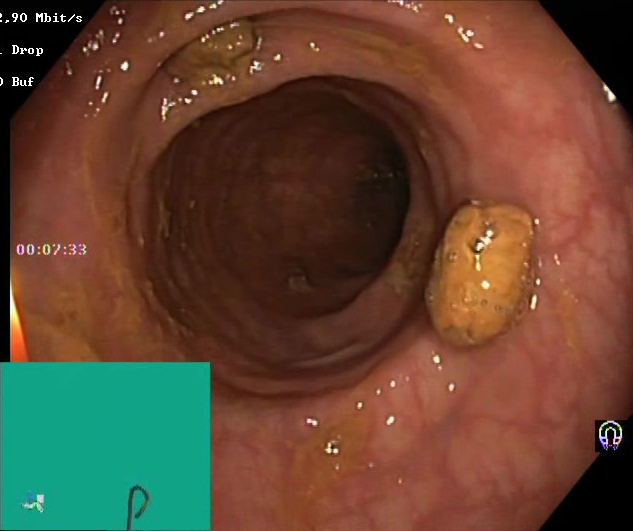Lower gastrointestinal endoscopy — impacted stool.